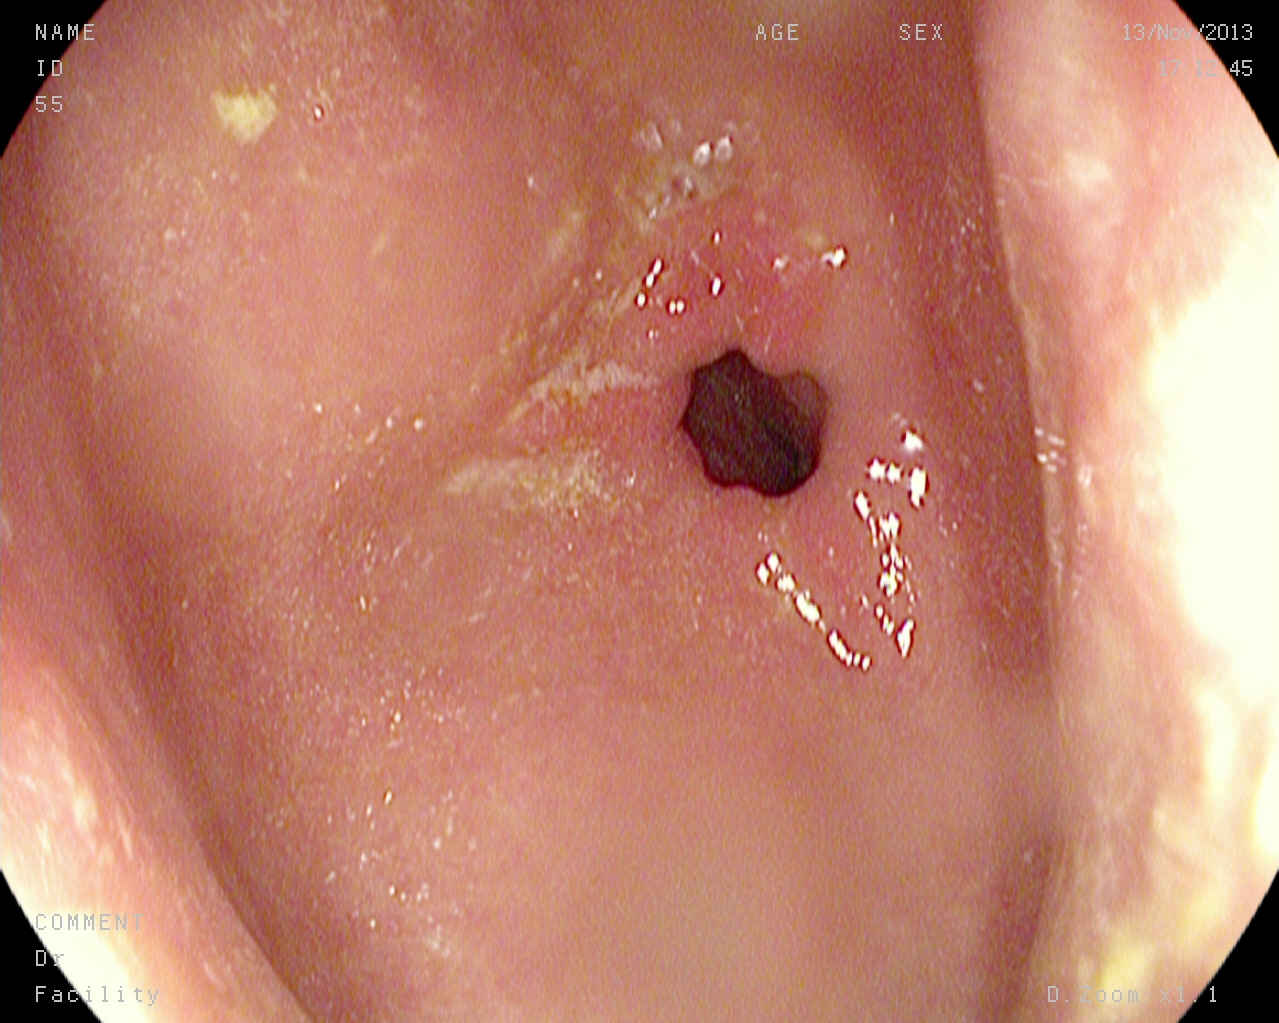This endoscopy frame of the upper GI tract shows pylorus.